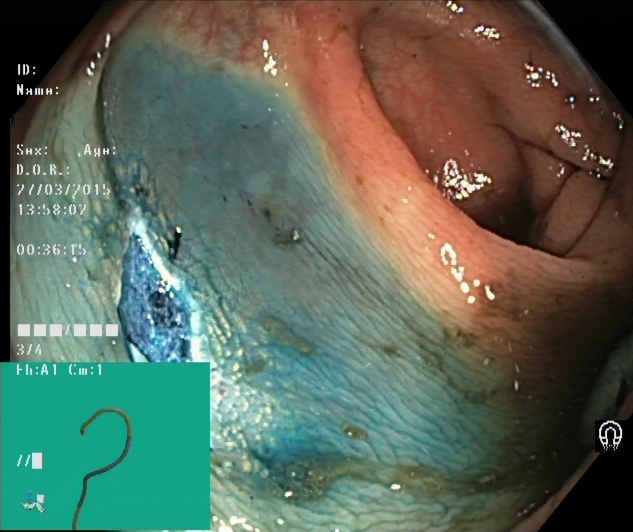dyed resection margins (post-polypectomy).